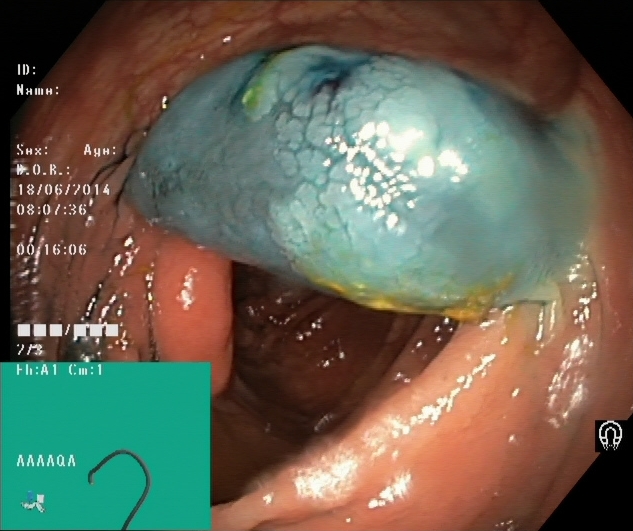Dyed and lifted polyp (pre-resection).